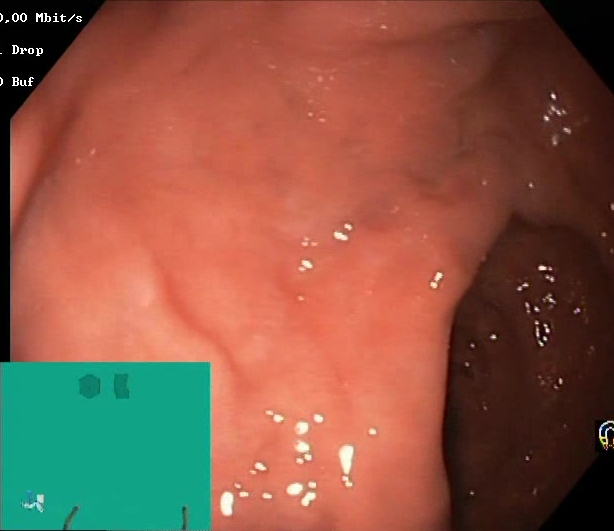PROCEDURE: Lower-GI endoscopy.
CATEGORY: Mucosal-view quality.
FINDINGS: BBPS score 2–3 (adequate preparation).